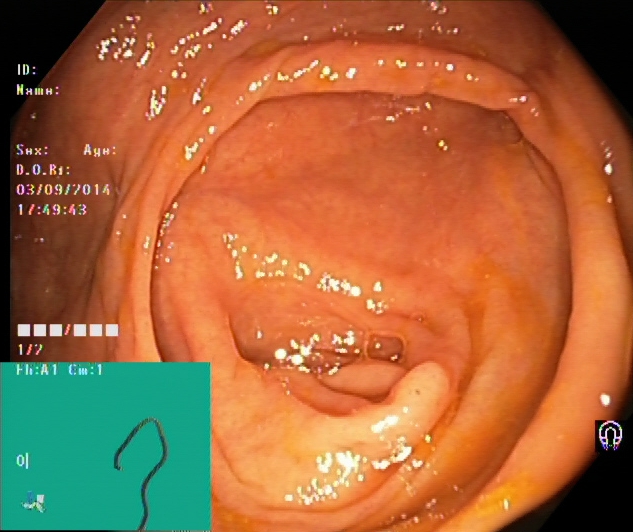This endoscopy frame of the lower GI tract shows cecum.